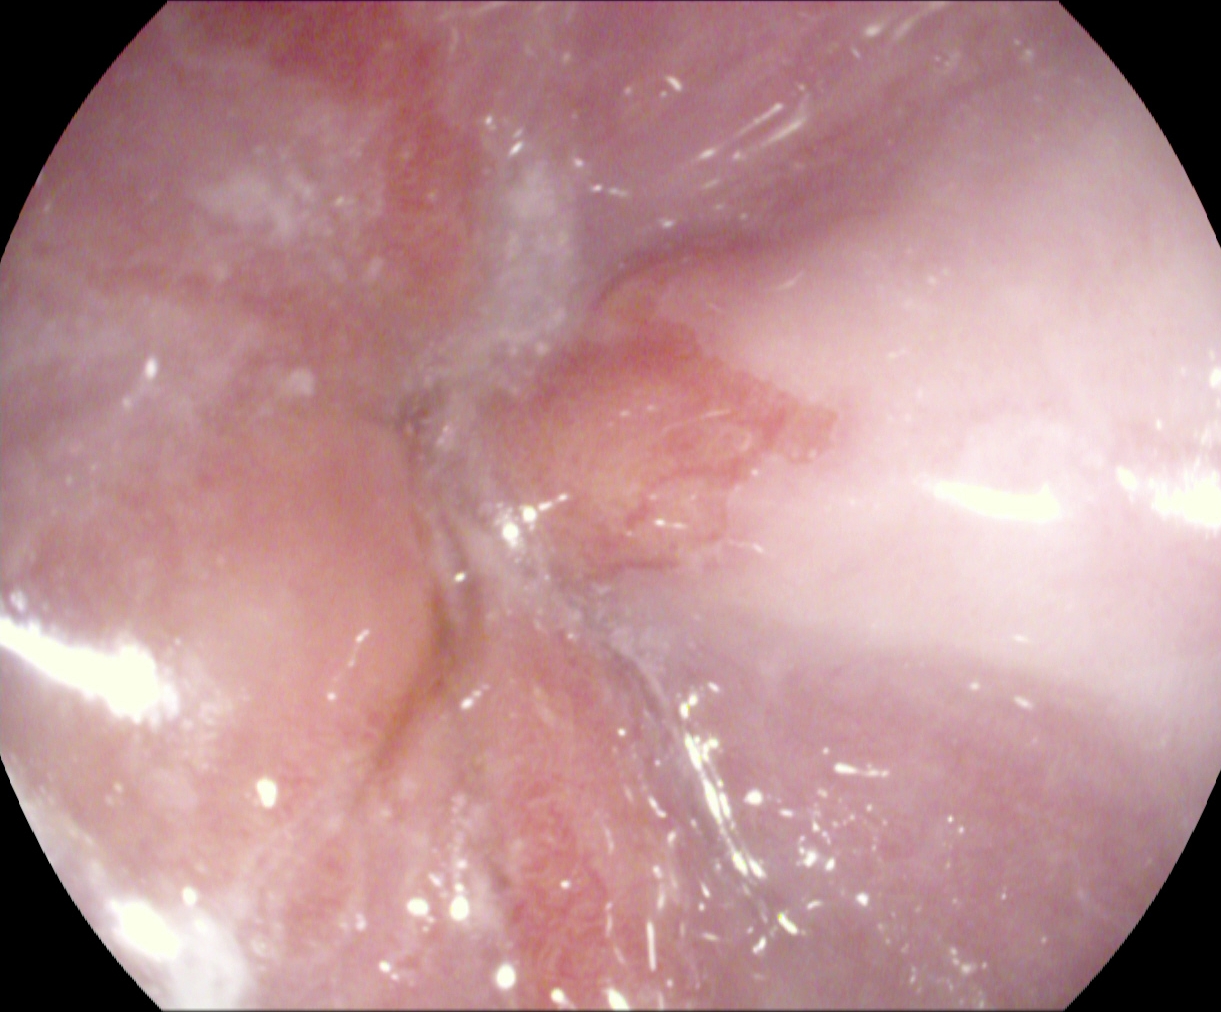Z-line (gastroesophageal junction).